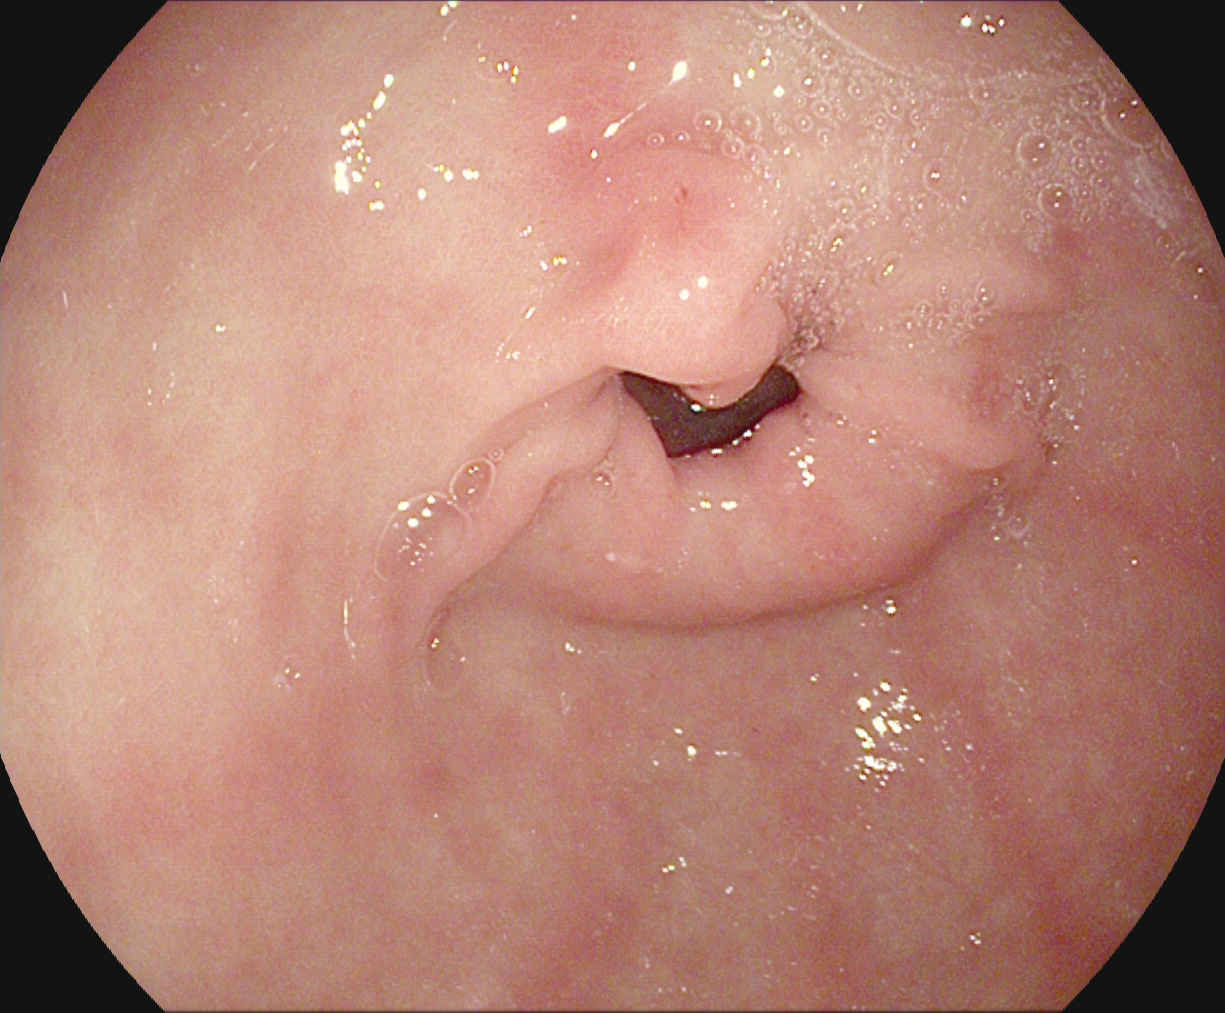Endoscopy image of the upper GI tract showing pylorus.